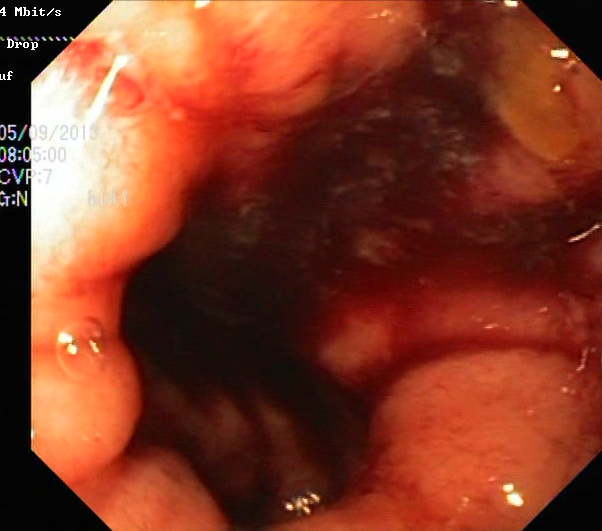GI endoscopy image showing UC, Mayo endoscopic subscore 3.